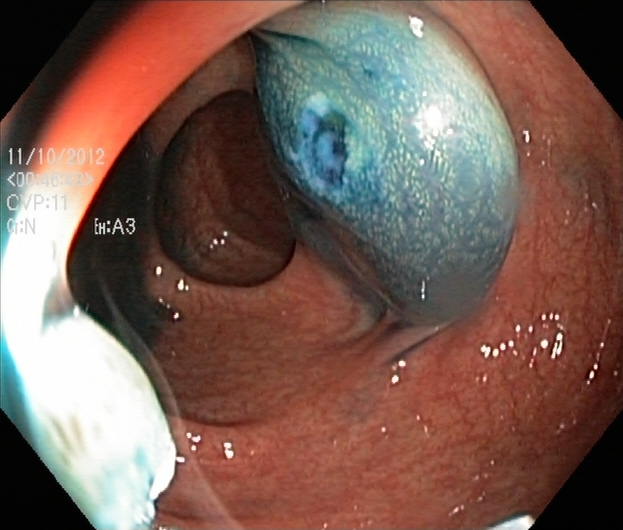This endoscopy frame shows dyed resection margins (post-polypectomy).